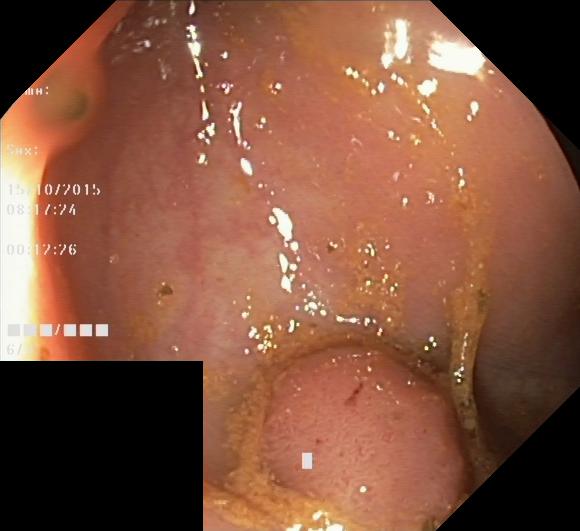Gastrointestinal endoscopy image showing colorectal polyp(s).